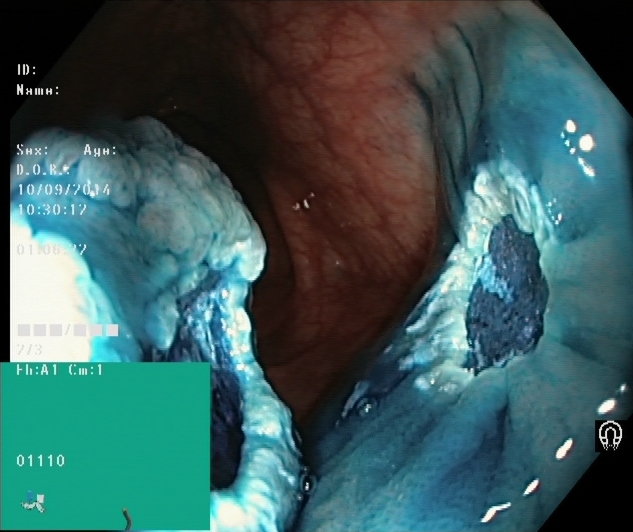Colonoscopy. Tract: lower GI tract. Therapeutic intervention. Finding: dyed resection margins (post-polypectomy).